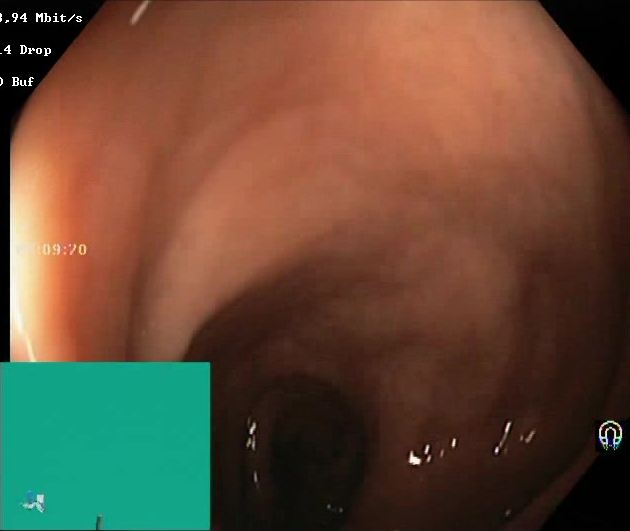Boston Bowel Preparation Scale score 2–3 (adequate preparation).